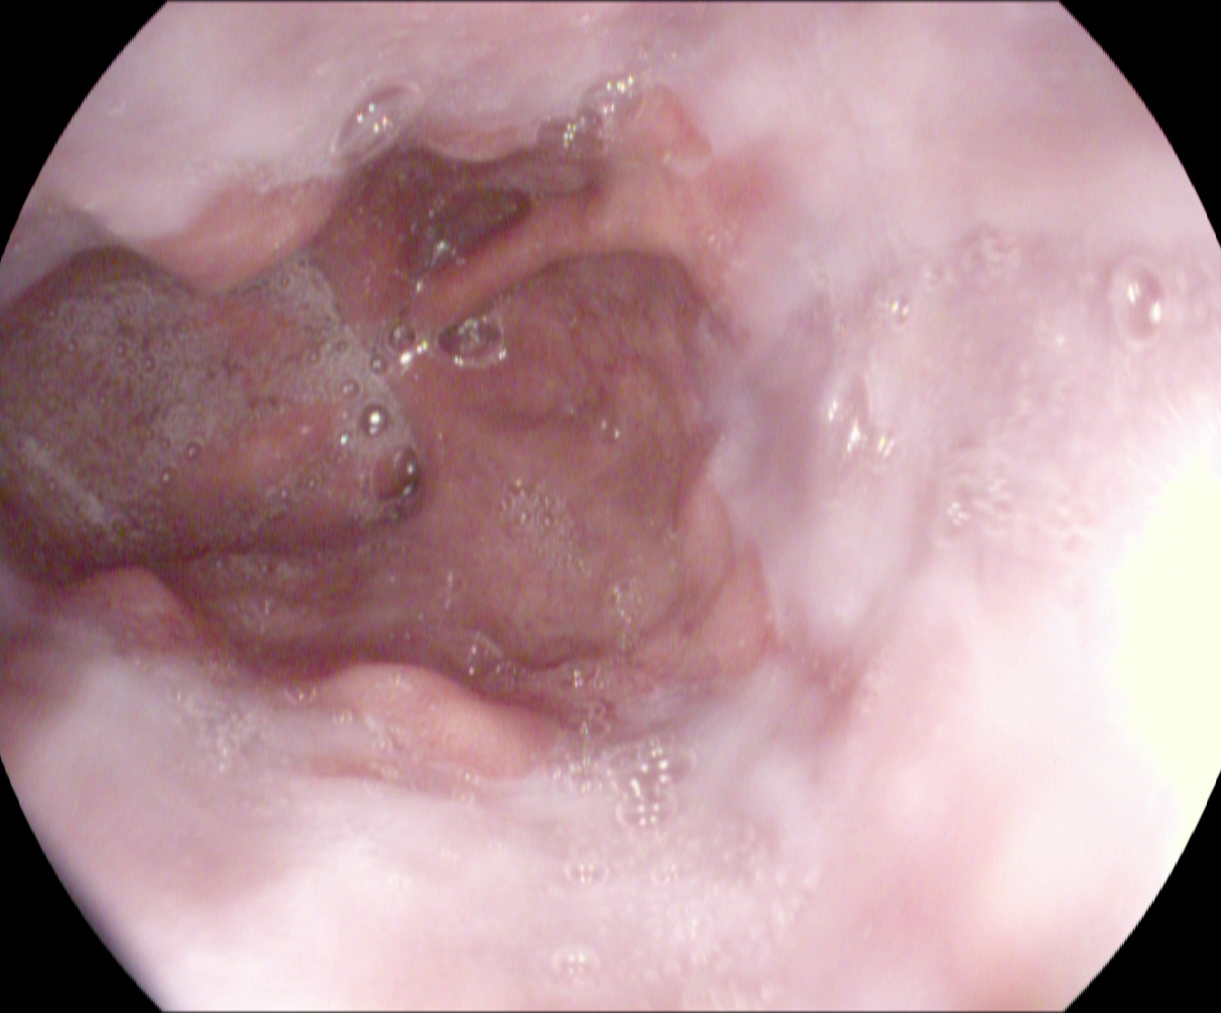{"modality": "gastroscopy", "tract": "upper GI tract", "category": "pathological finding", "finding": "reflux esophagitis, Los Angeles grade A"}